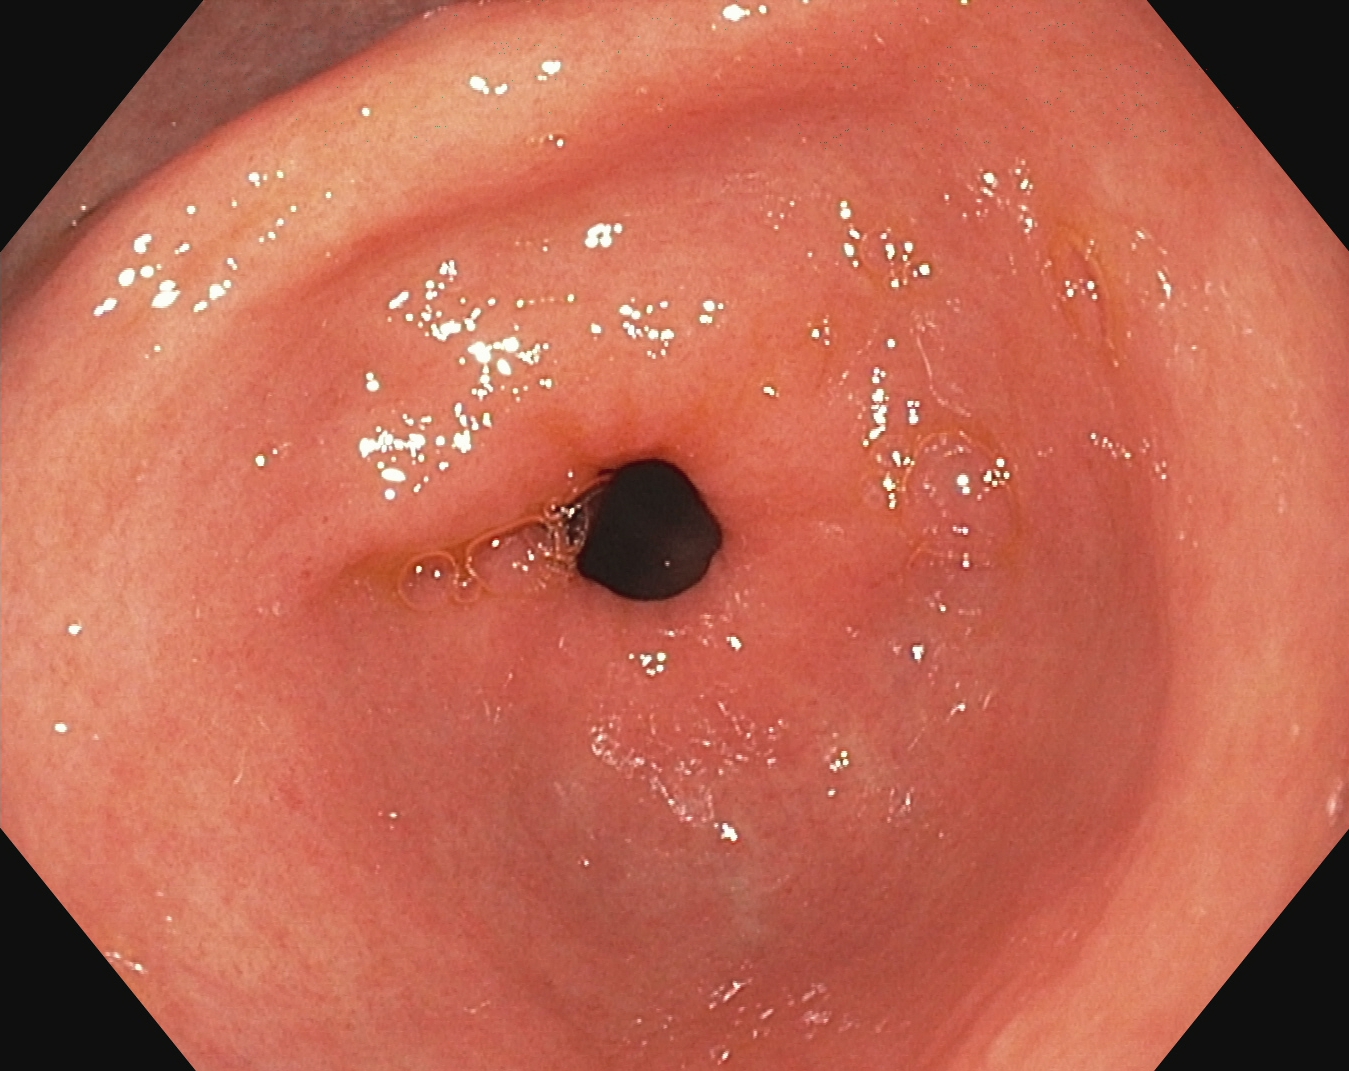PROCEDURE: Gastroscopy.
CATEGORY: Anatomical landmark.
FINDINGS: Pylorus.